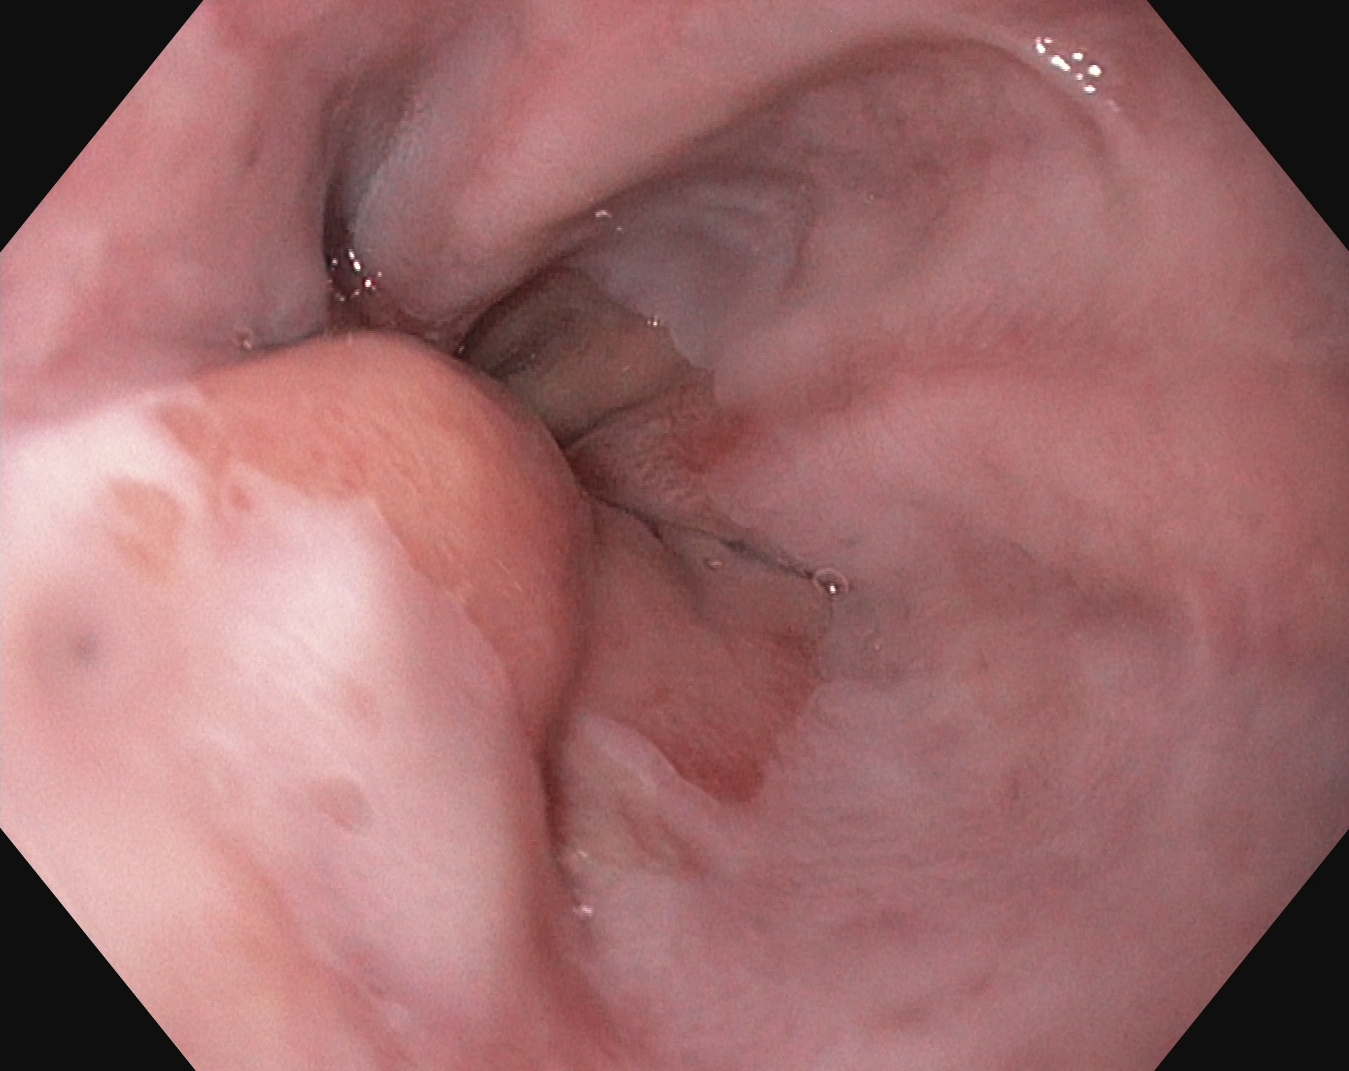modality: upper-GI endoscopy
tract: upper GI tract
finding: reflux esophagitis, Los Angeles grade A